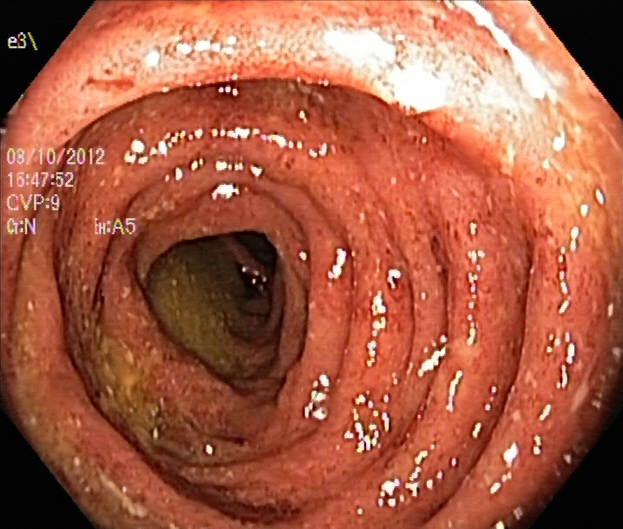{"modality": "lower gastrointestinal endoscopy", "tract": "lower GI tract", "finding": "ulcerative colitis, Mayo endoscopic subscore 3"}